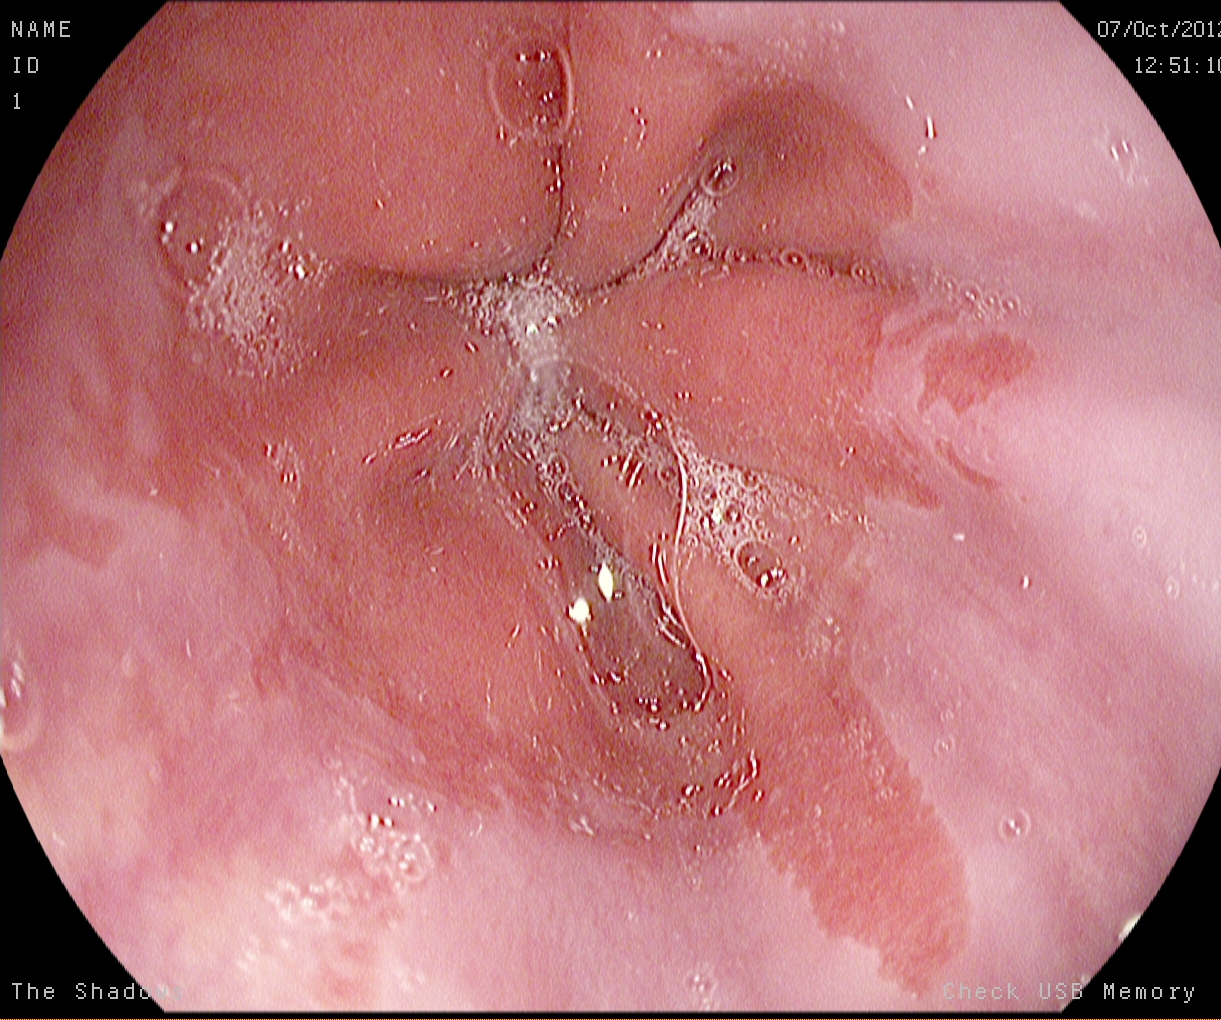PROCEDURE: EGD.
CATEGORY: Pathological finding.
FINDINGS: Barrett's esophagus, short segment.